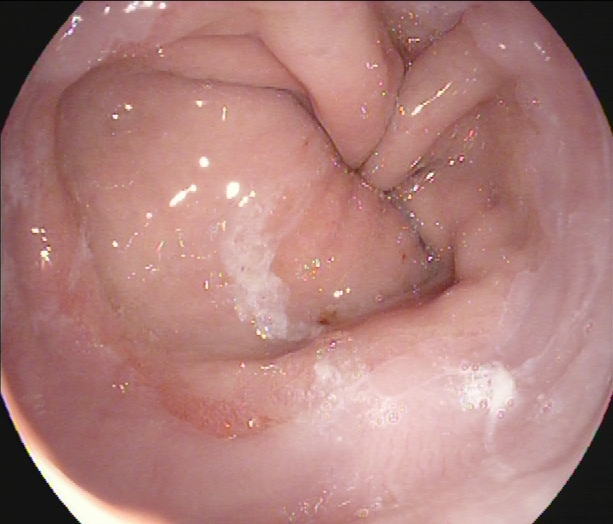Endoscopic image of the upper GI tract showing Z-line (gastroesophageal junction).